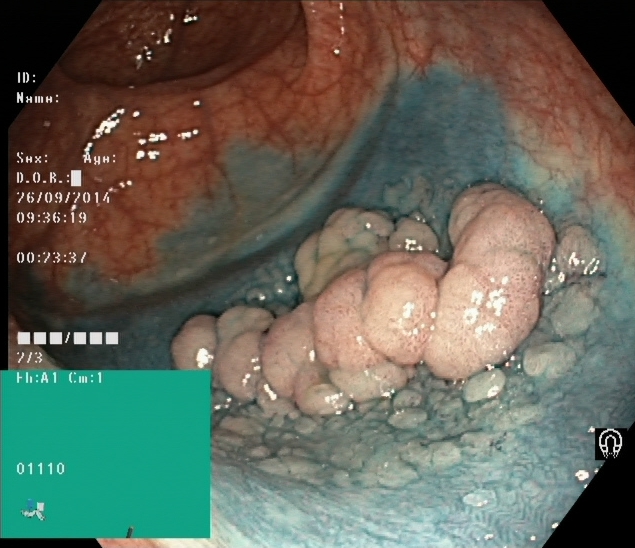Dyed and lifted polyp (pre-resection).